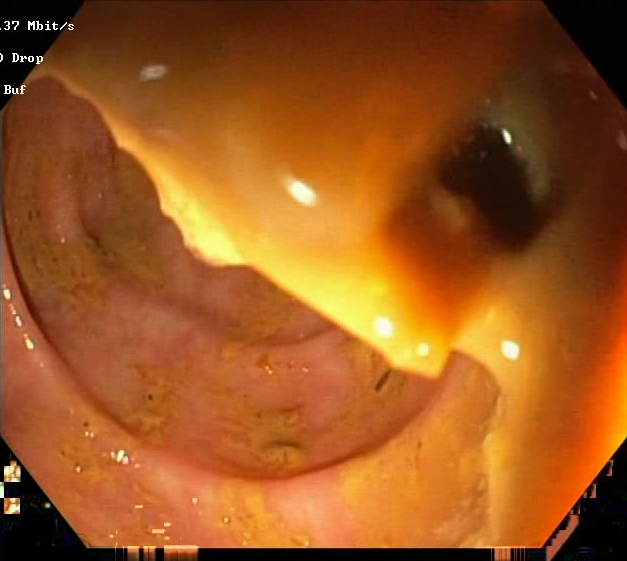Colonoscopy — BBPS score 0–1 (inadequate preparation).